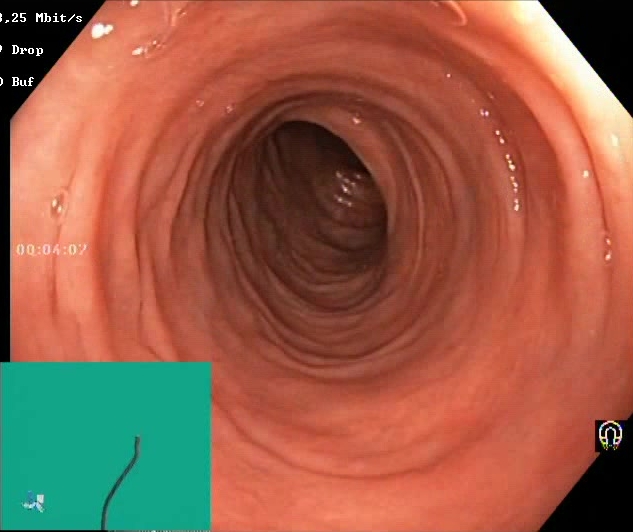modality: lower-GI endoscopy
finding: Boston Bowel Preparation Scale score 2–3 (adequate preparation)